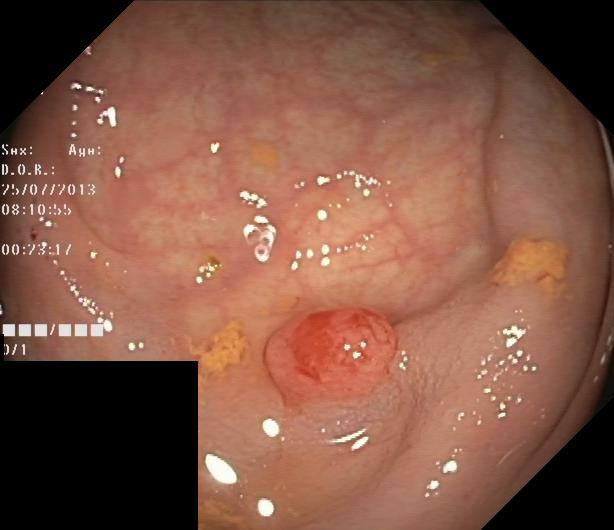GI endoscopy image showing colorectal polyp(s).